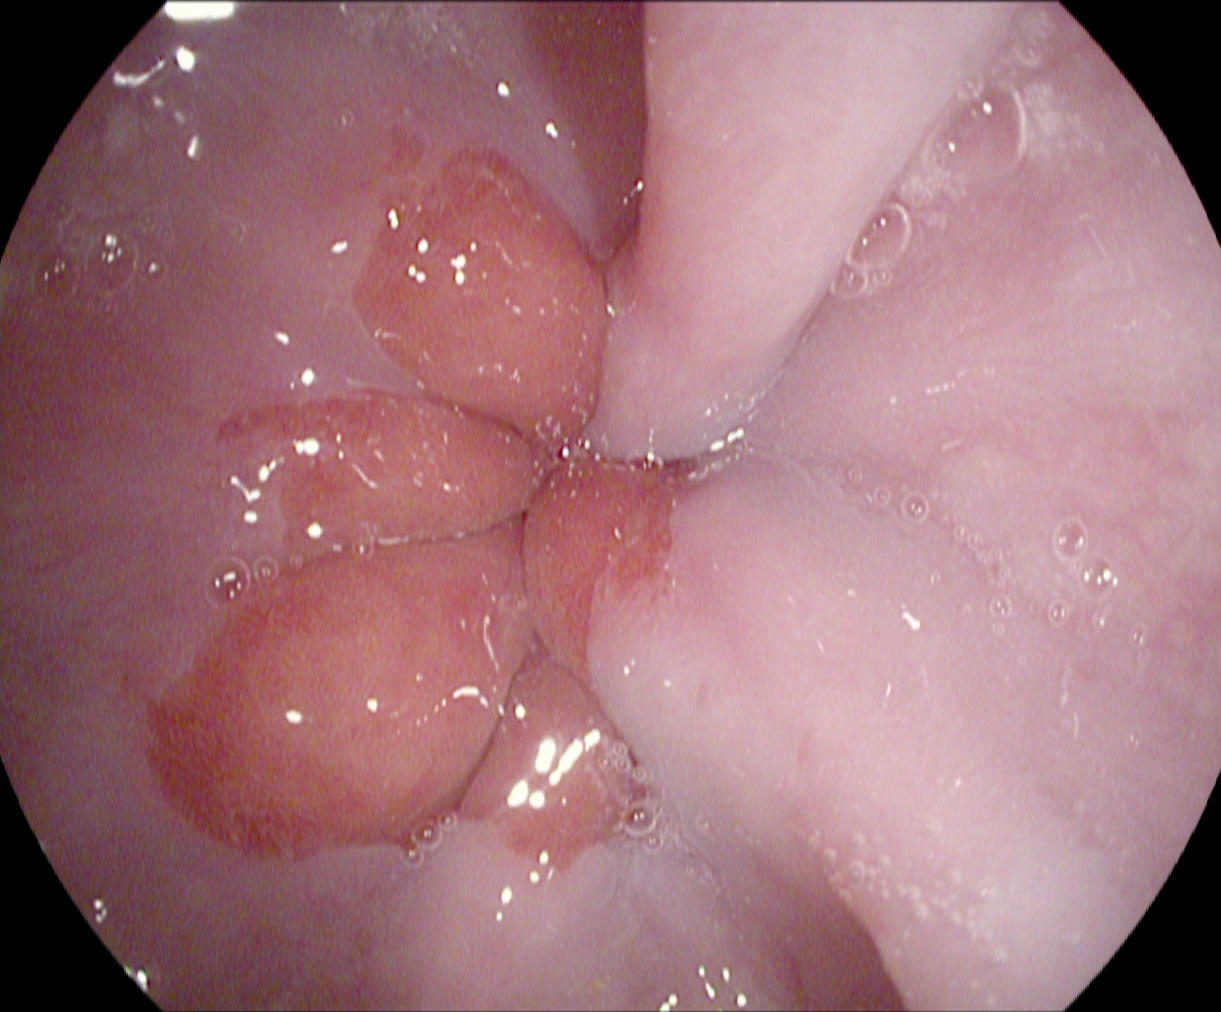{"modality": "EGD", "tract": "upper GI tract", "finding": "Z-line (gastroesophageal junction)"}